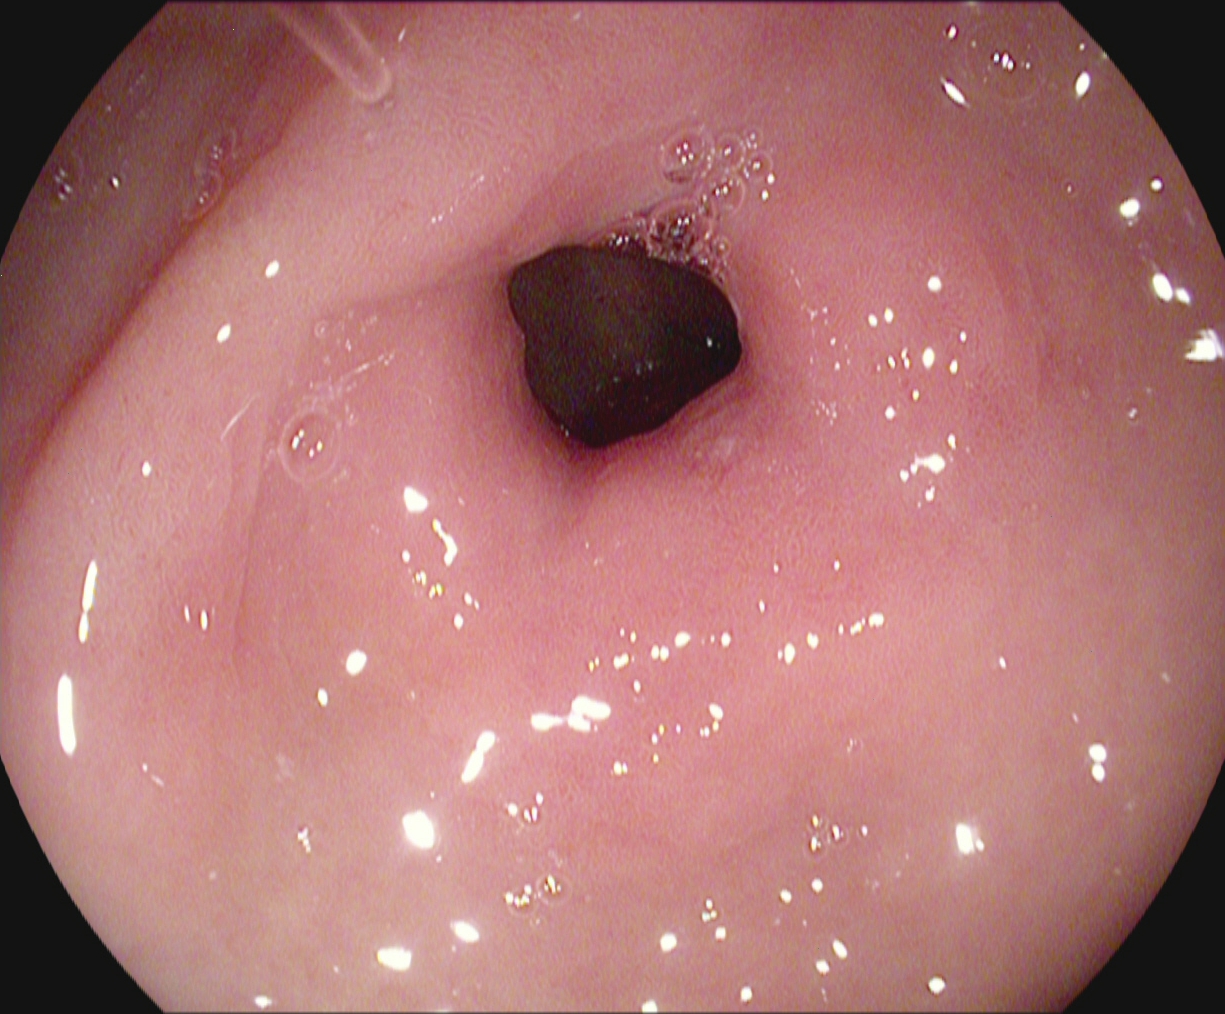{"modality": "upper-GI endoscopy", "tract": "upper GI tract", "finding": "pylorus"}